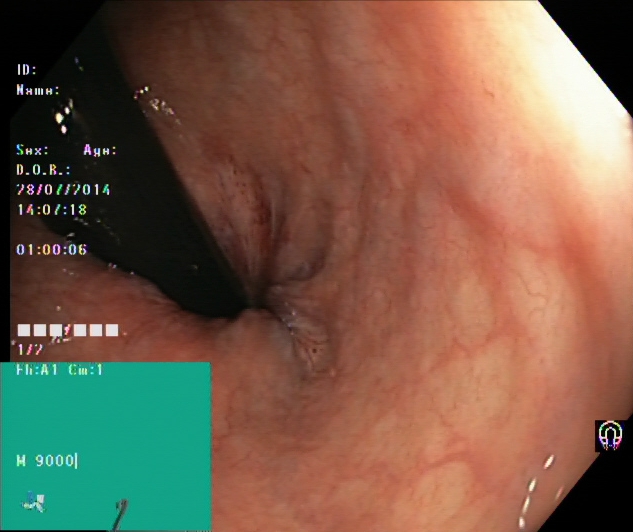rectum in retroflexion.